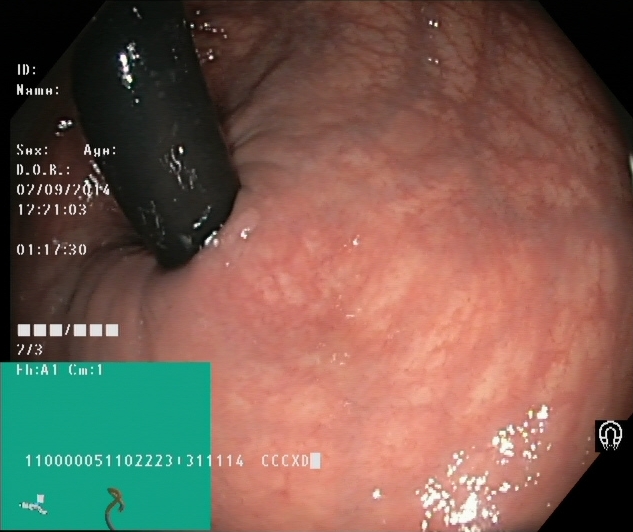Colonoscopy — rectum in retroflexion.